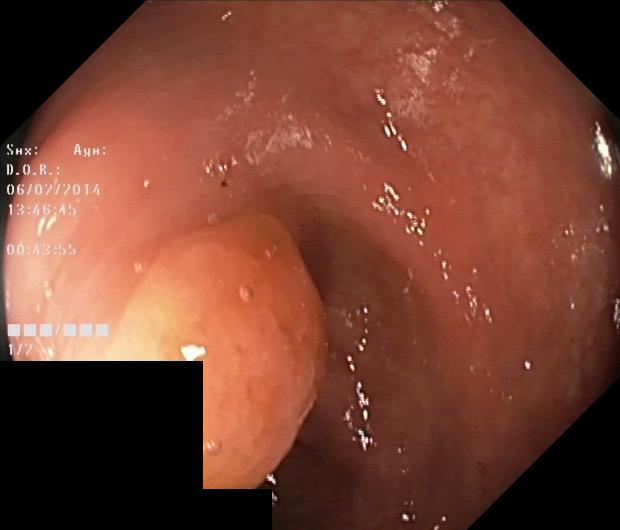Colonoscopy — colorectal polyp(s).